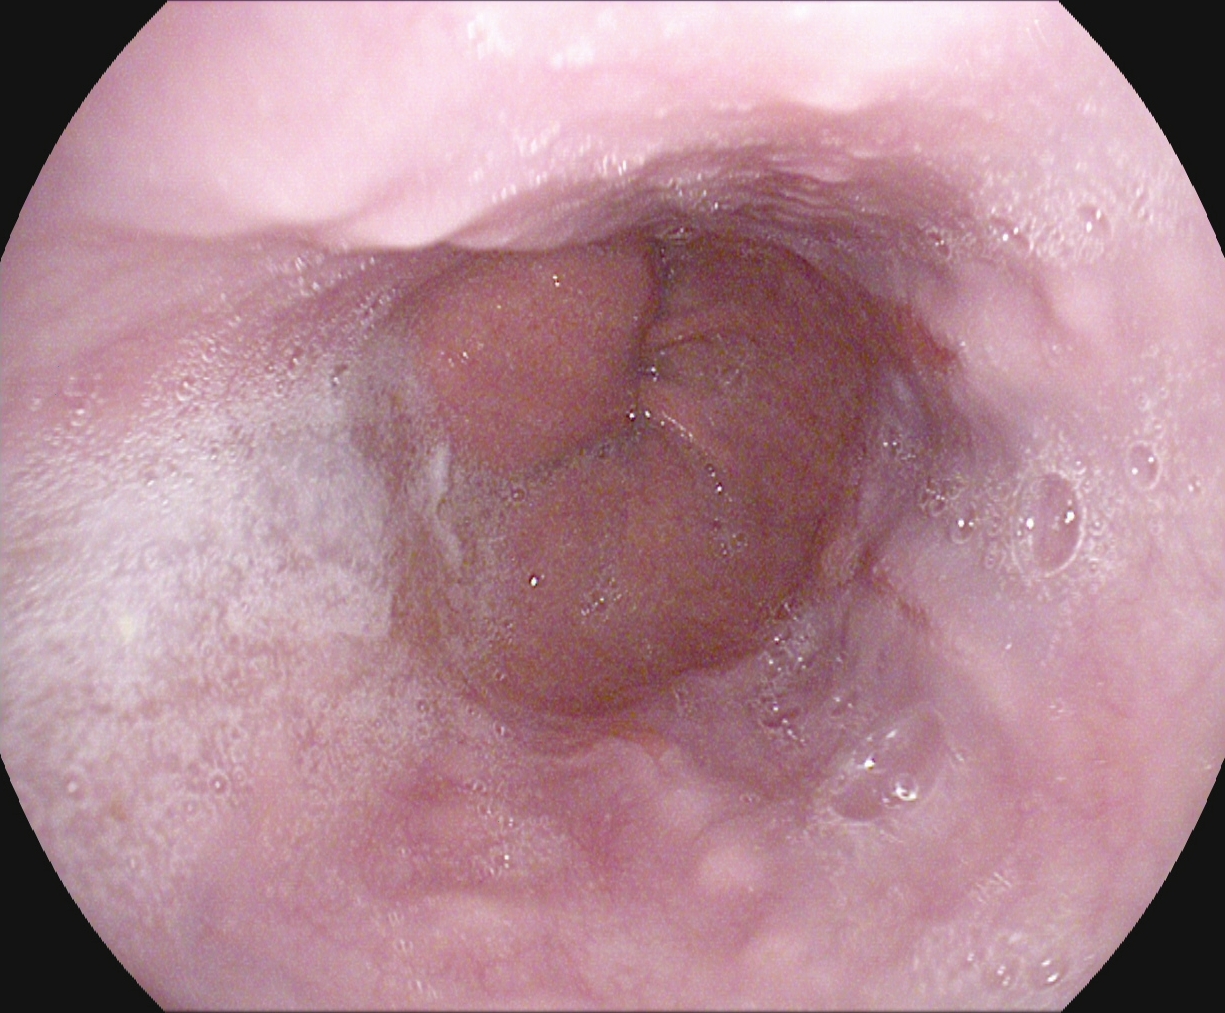PROCEDURE: Gastroscopy.
FINDINGS: Reflux esophagitis, LA grade A.